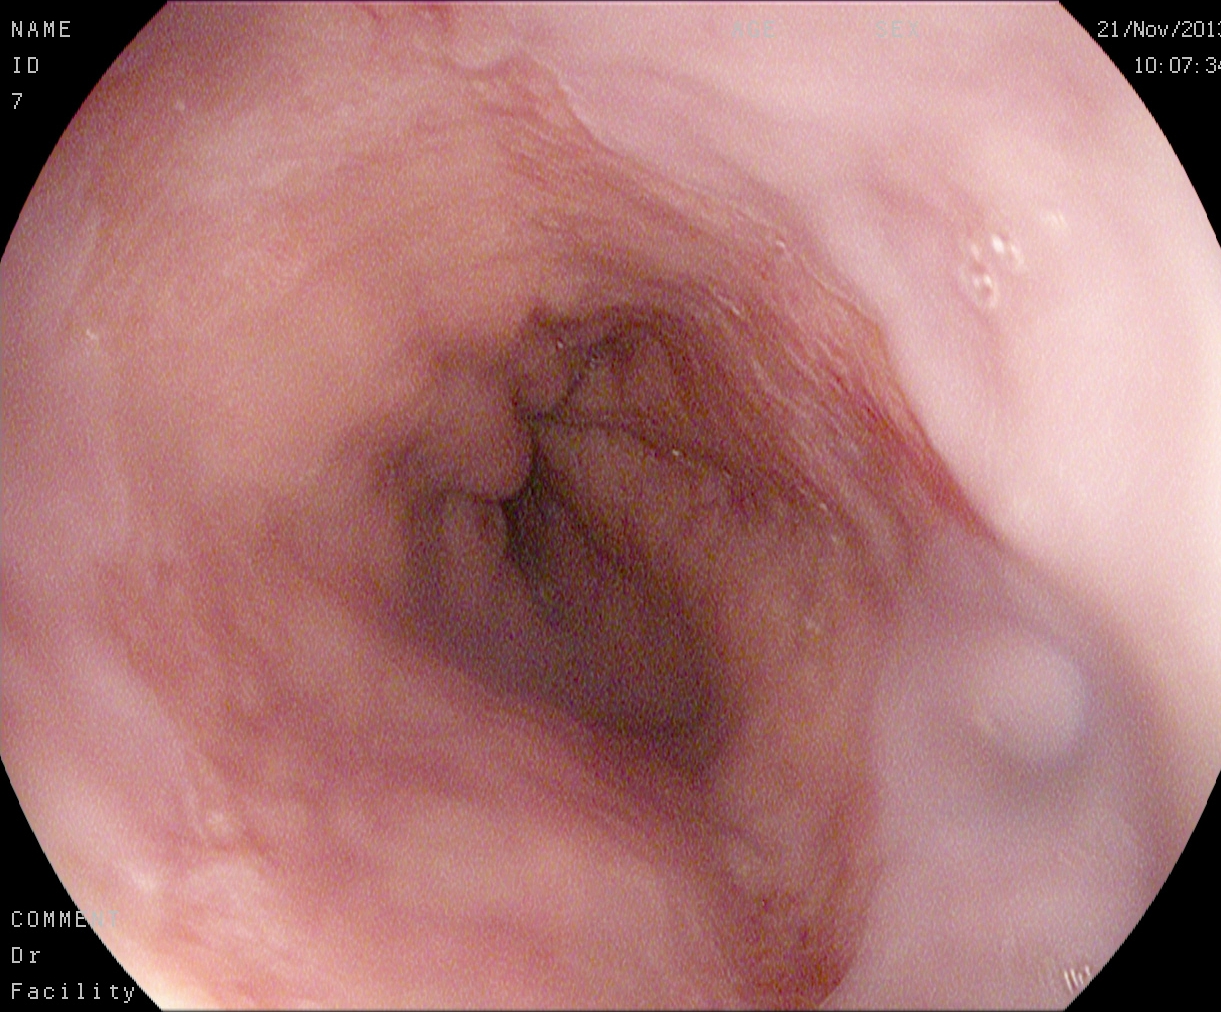modality: gastroscopy
tract: upper GI tract
category: pathological finding
finding: Barrett's esophagus